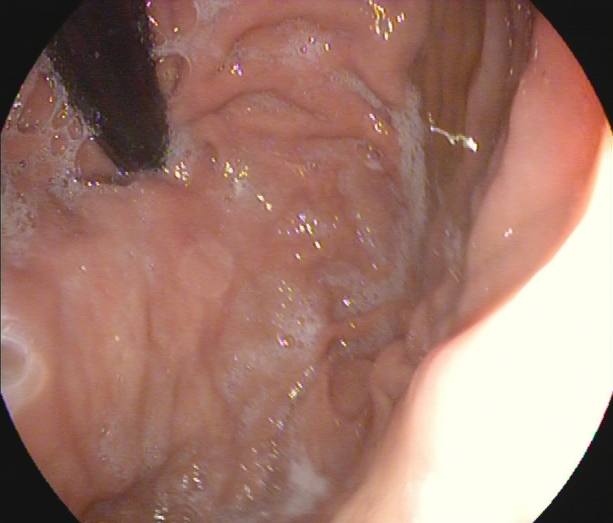modality: esophagogastroduodenoscopy | tract: upper GI tract | finding: stomach in retroflexion